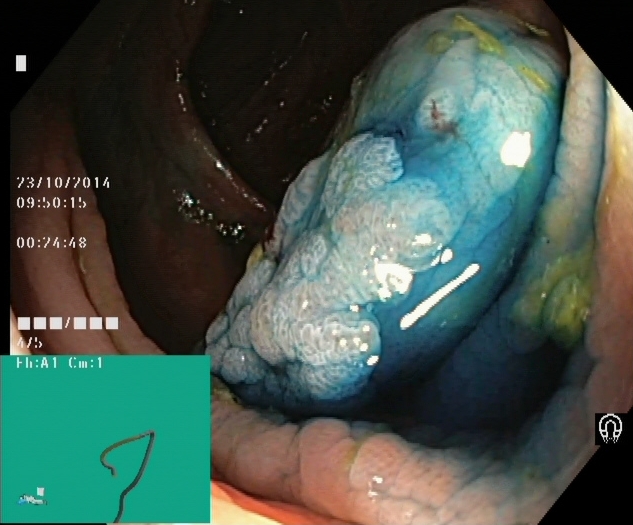Lower-GI endoscopy — dyed and lifted polyp (pre-resection).